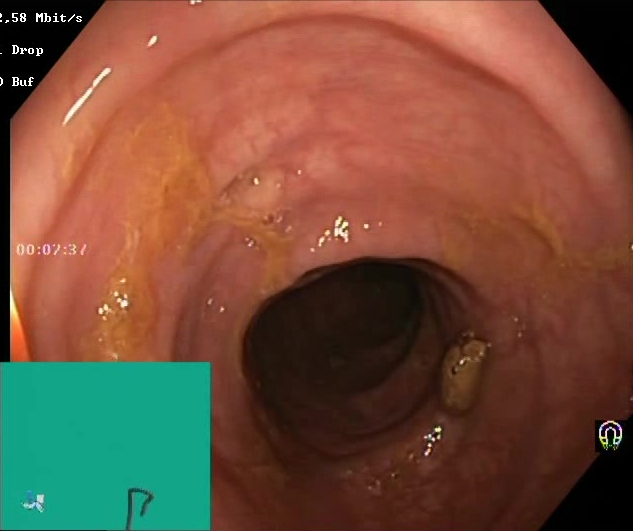Boston Bowel Preparation Scale score 2–3 (adequate preparation).